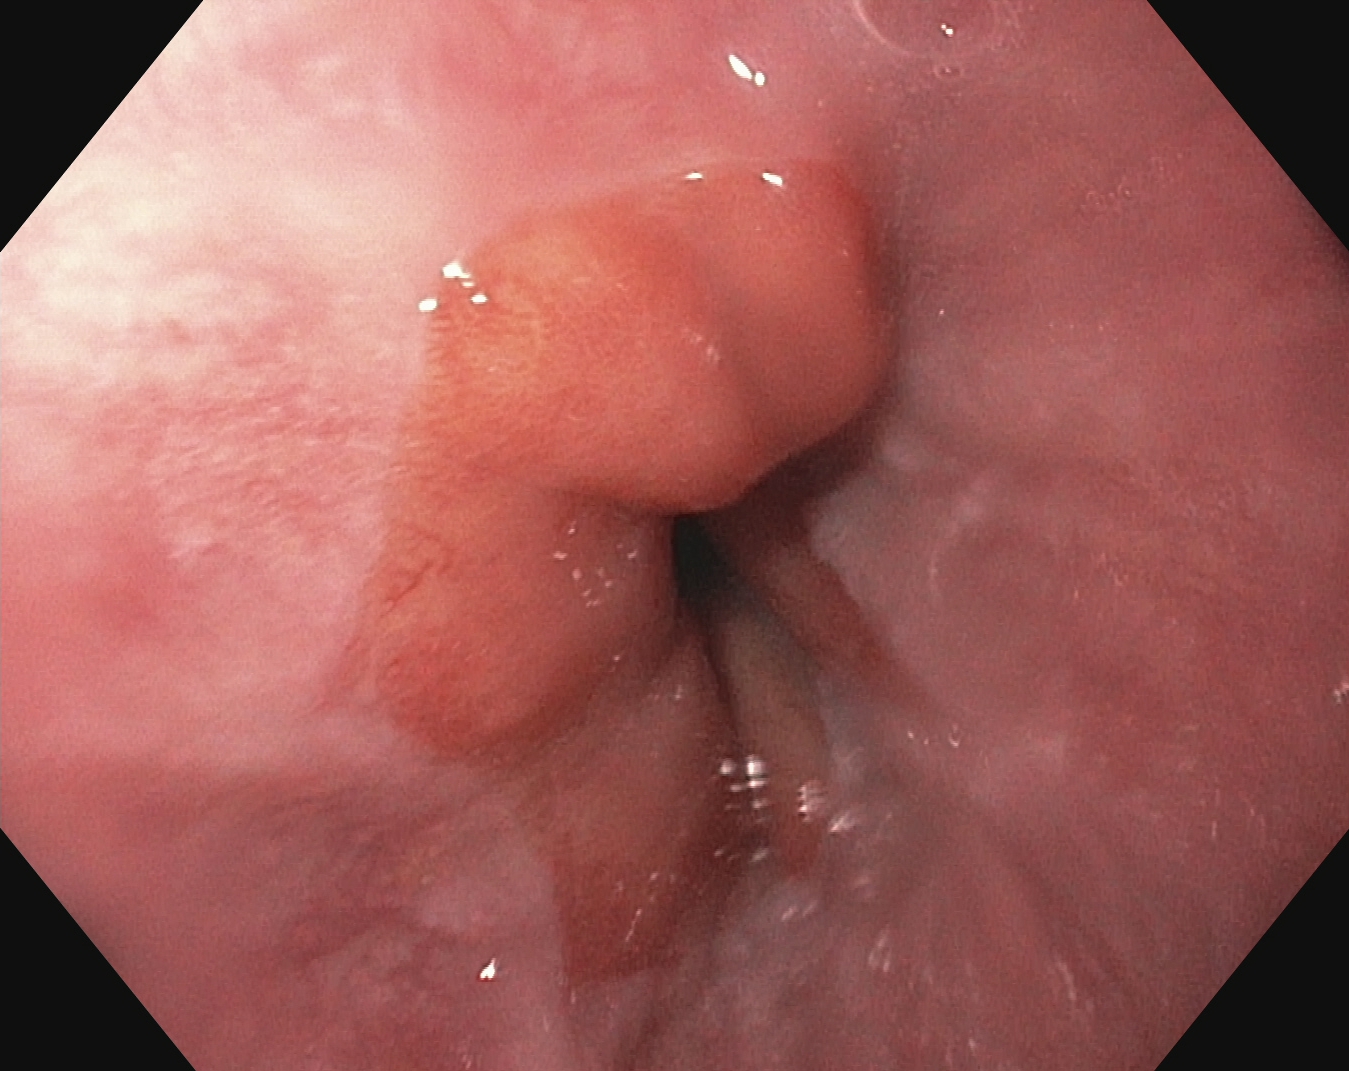Z-line (gastroesophageal junction).